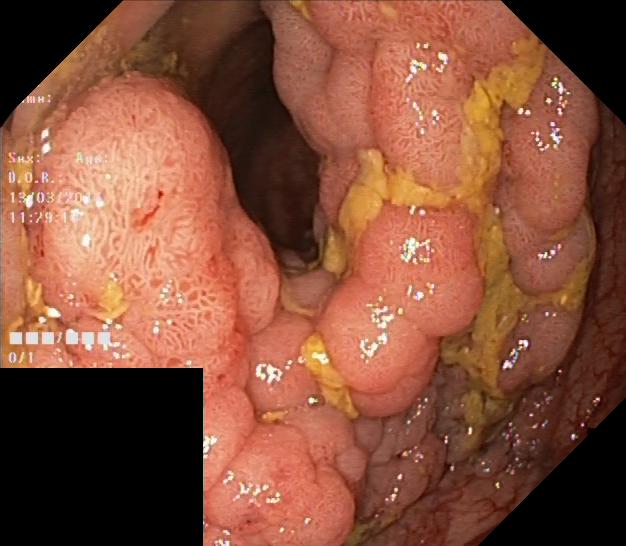{"modality": "lower gastrointestinal endoscopy", "finding": "colorectal polyp(s)"}